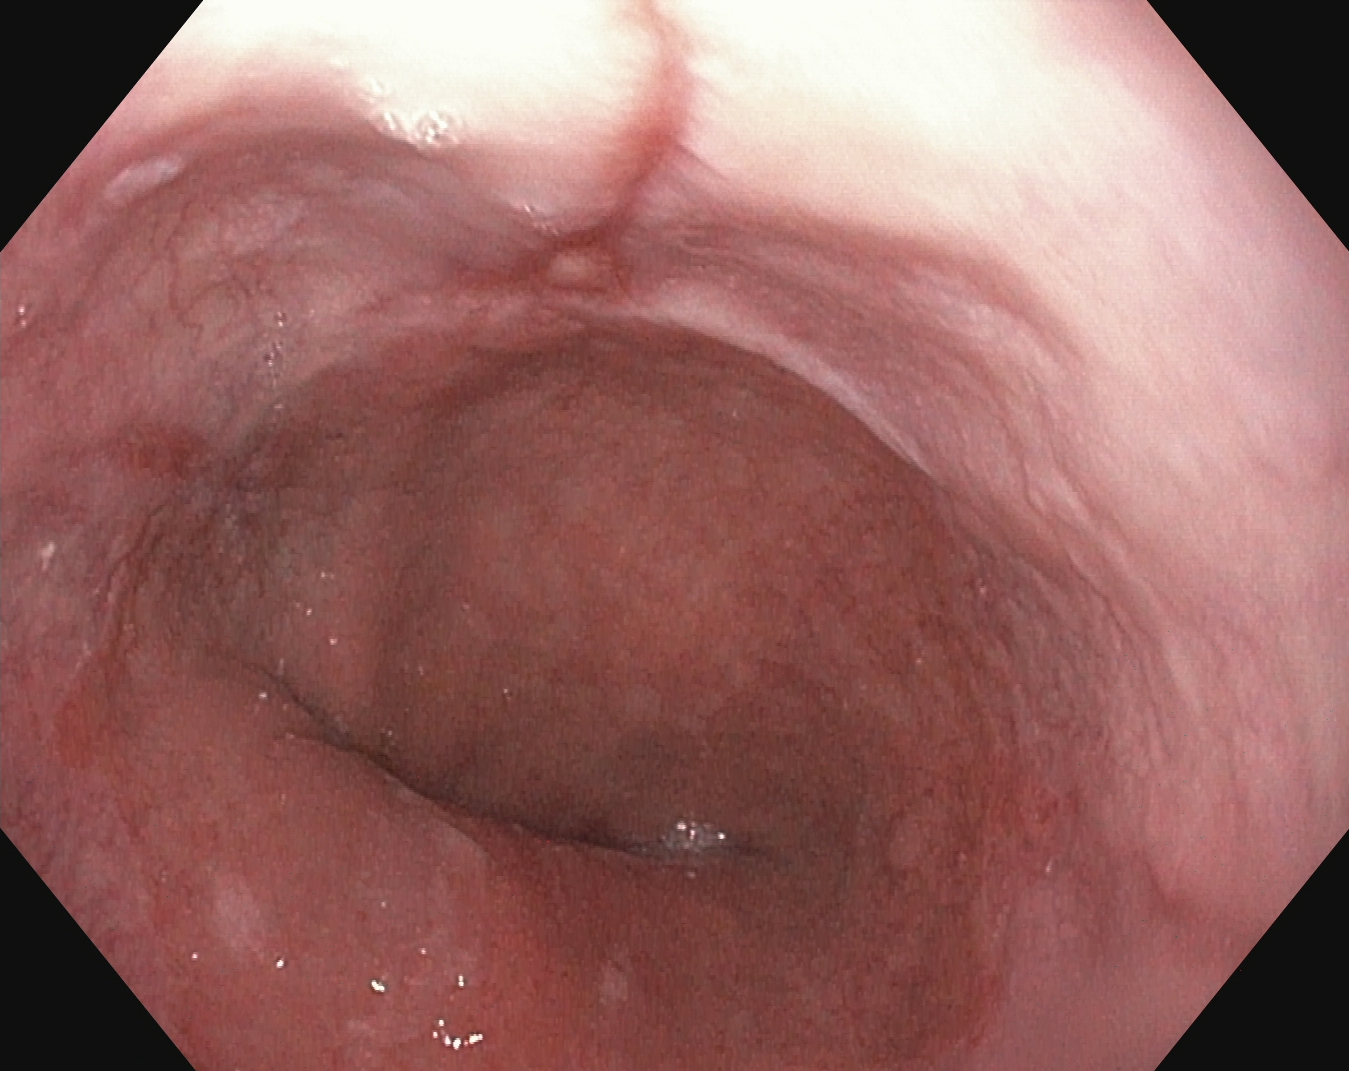This endoscopic image shows reflux esophagitis, Los Angeles grade A.